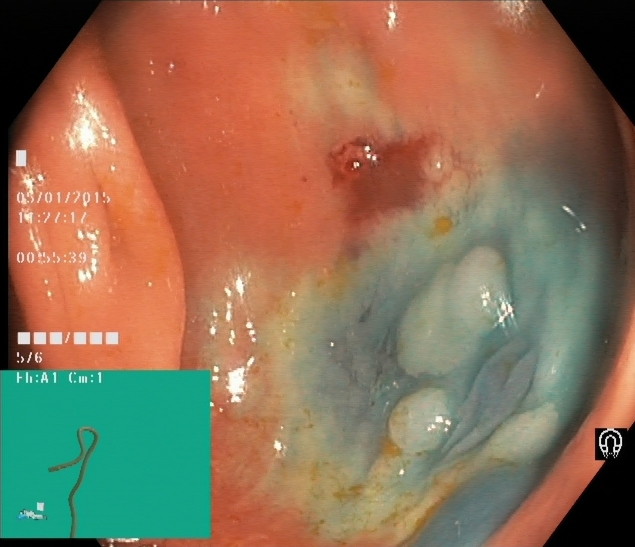This endoscopy frame shows dyed and lifted polyp (pre-resection).